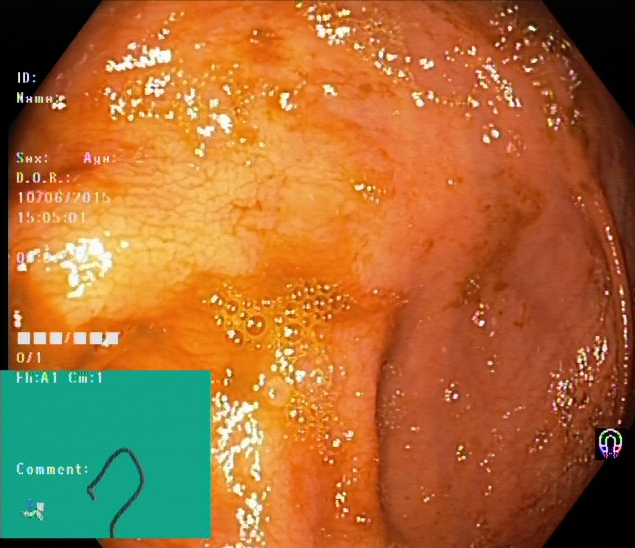This endoscopy frame of the lower GI tract shows cecum.